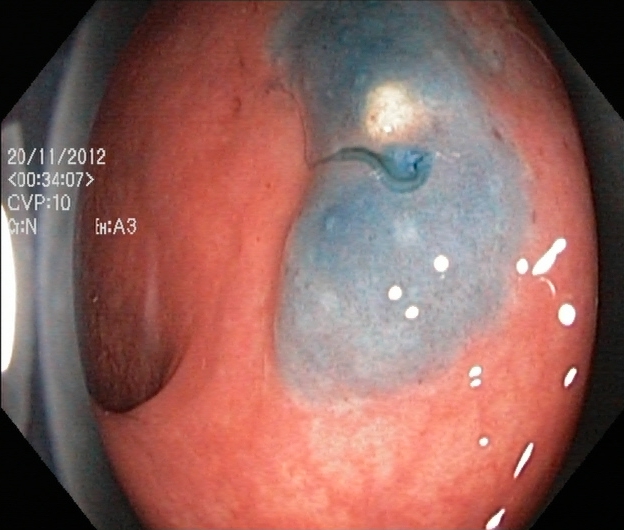Lower-GI endoscopy — dyed and lifted polyp (pre-resection).